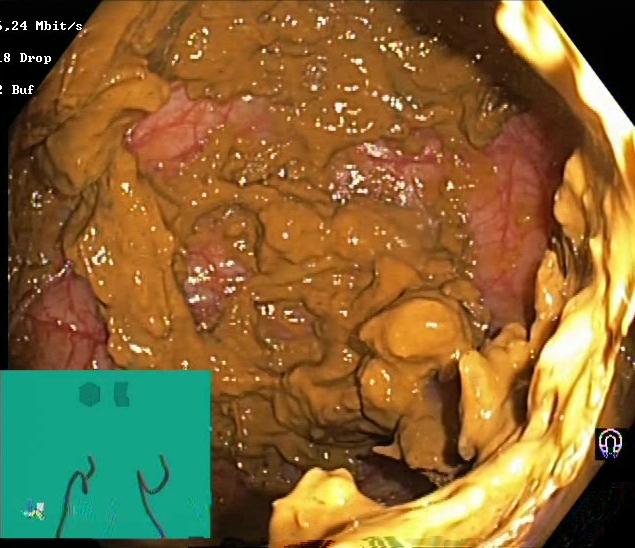PROCEDURE: Lower-GI endoscopy.
CATEGORY: Mucosal-view quality.
FINDINGS: Boston Bowel Preparation Scale score 0–1 (inadequate preparation).